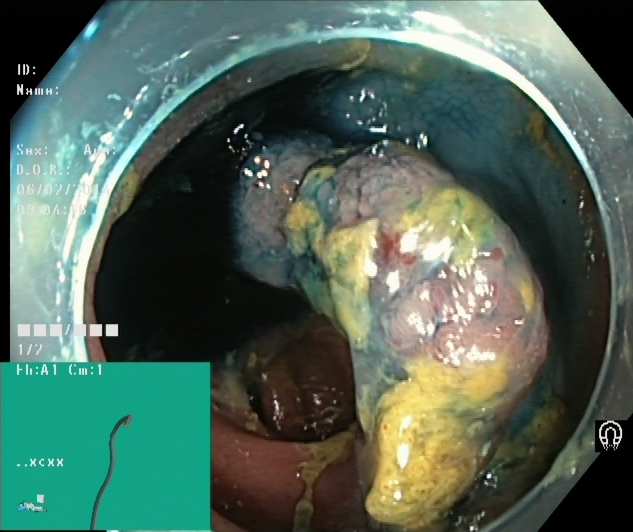Endoscopic frame of the lower GI tract showing dyed and lifted polyp (pre-resection).